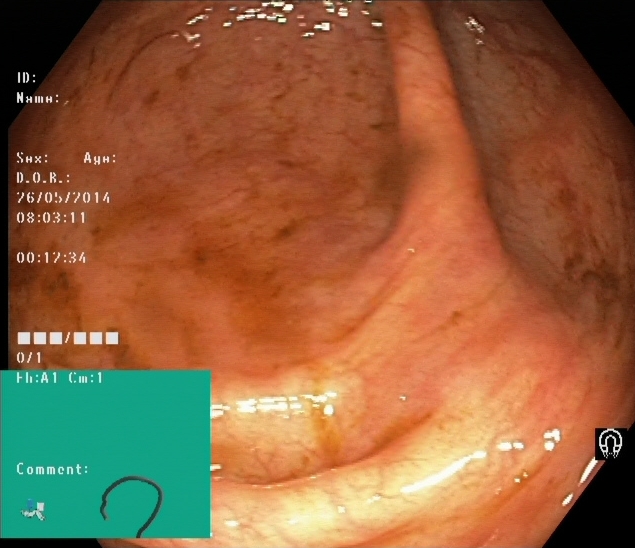PROCEDURE: Colonoscopy.
FINDINGS: Cecum.